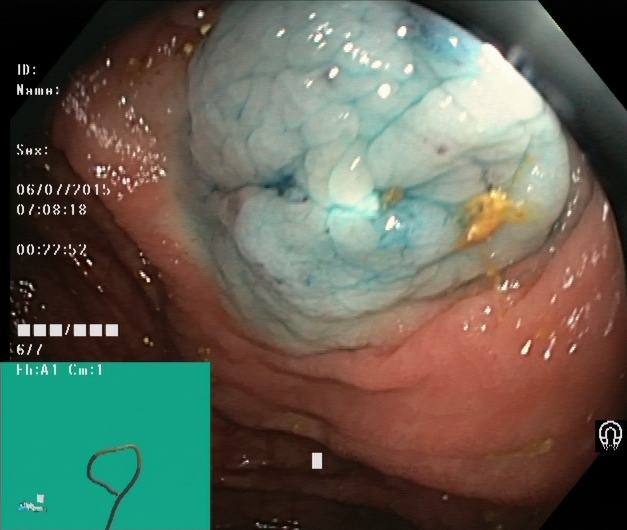Dyed and lifted polyp (pre-resection).